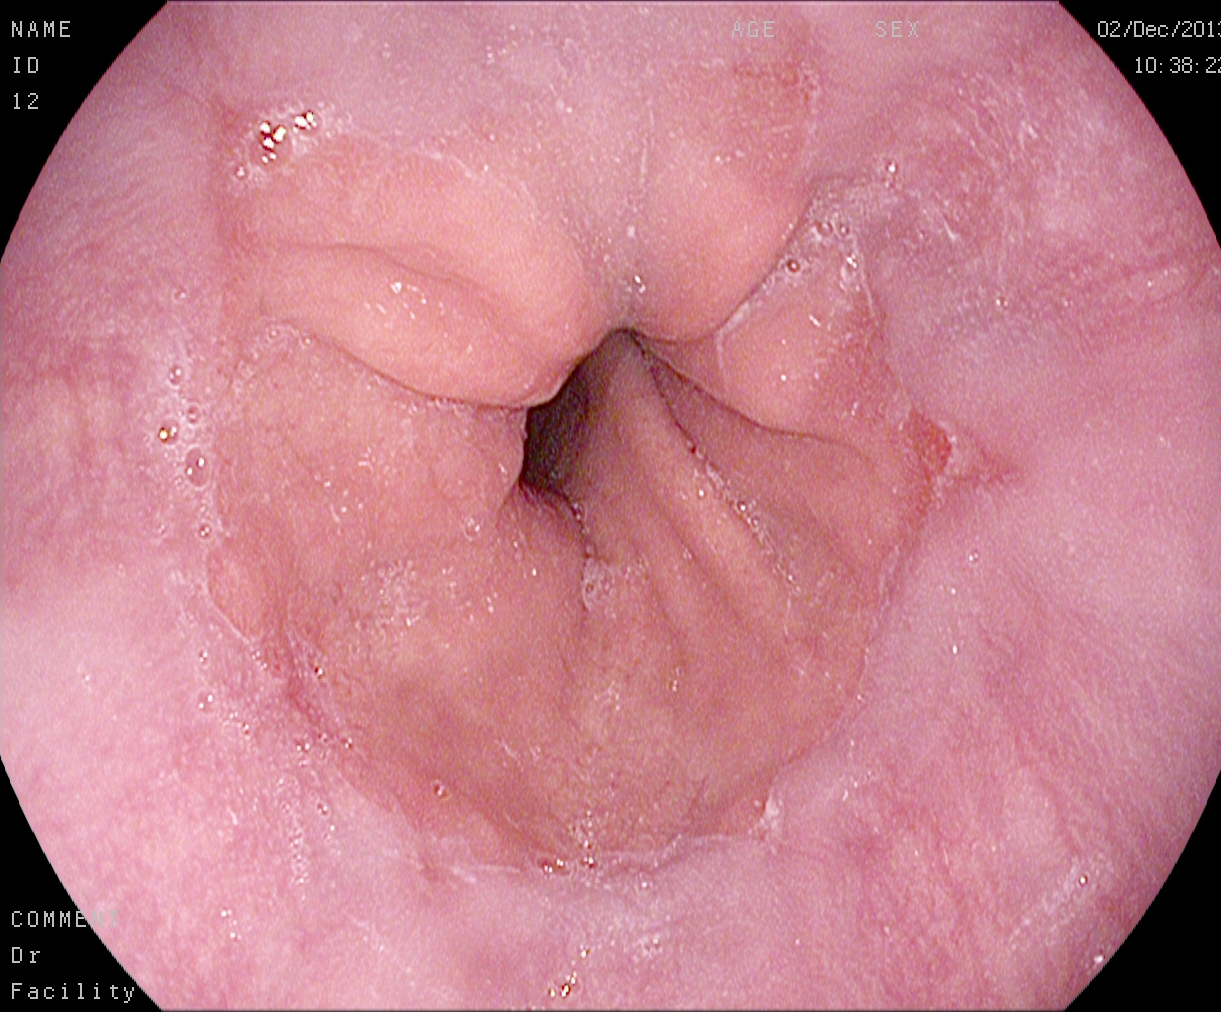This endoscopic image of the upper GI tract shows reflux esophagitis, Los Angeles grade A.